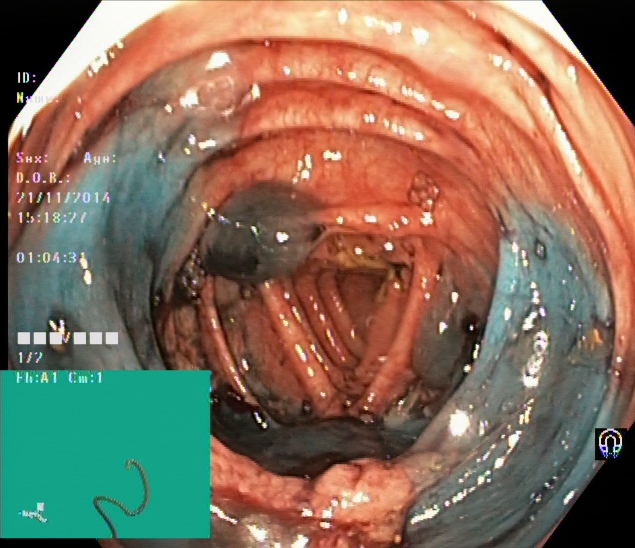GI endoscopy image of the lower GI tract showing dyed resection margins (post-polypectomy).